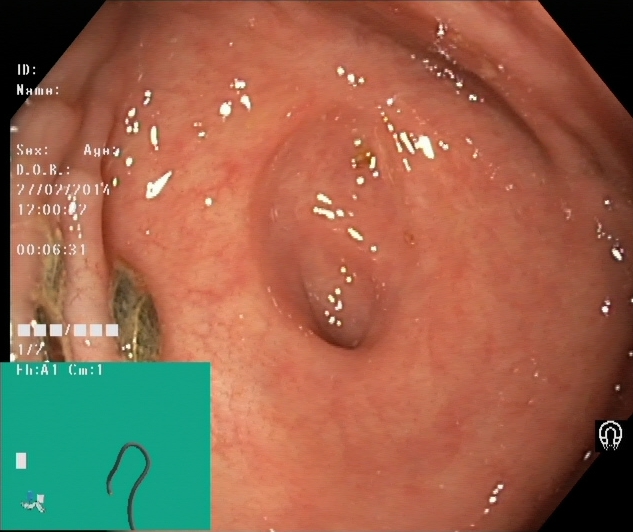Endoscopic image of the lower GI tract showing cecum.